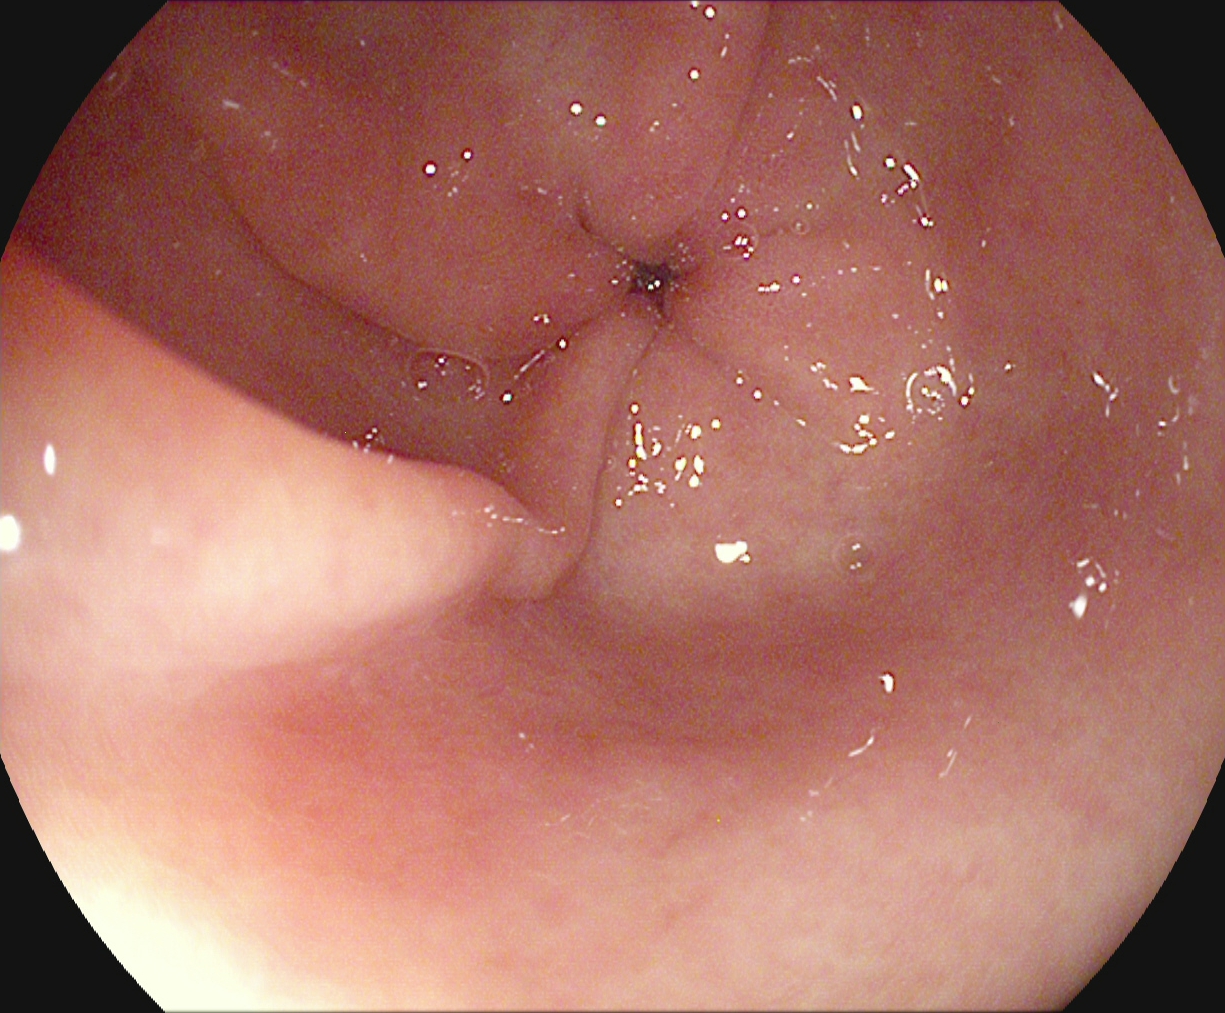modality: EGD | finding: pylorus